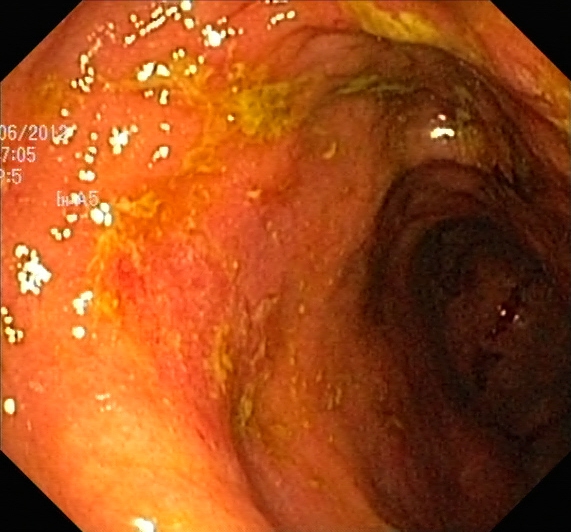modality: colonoscopy | category: pathological finding | finding: ulcerative colitis, Mayo endoscopic subscore 2